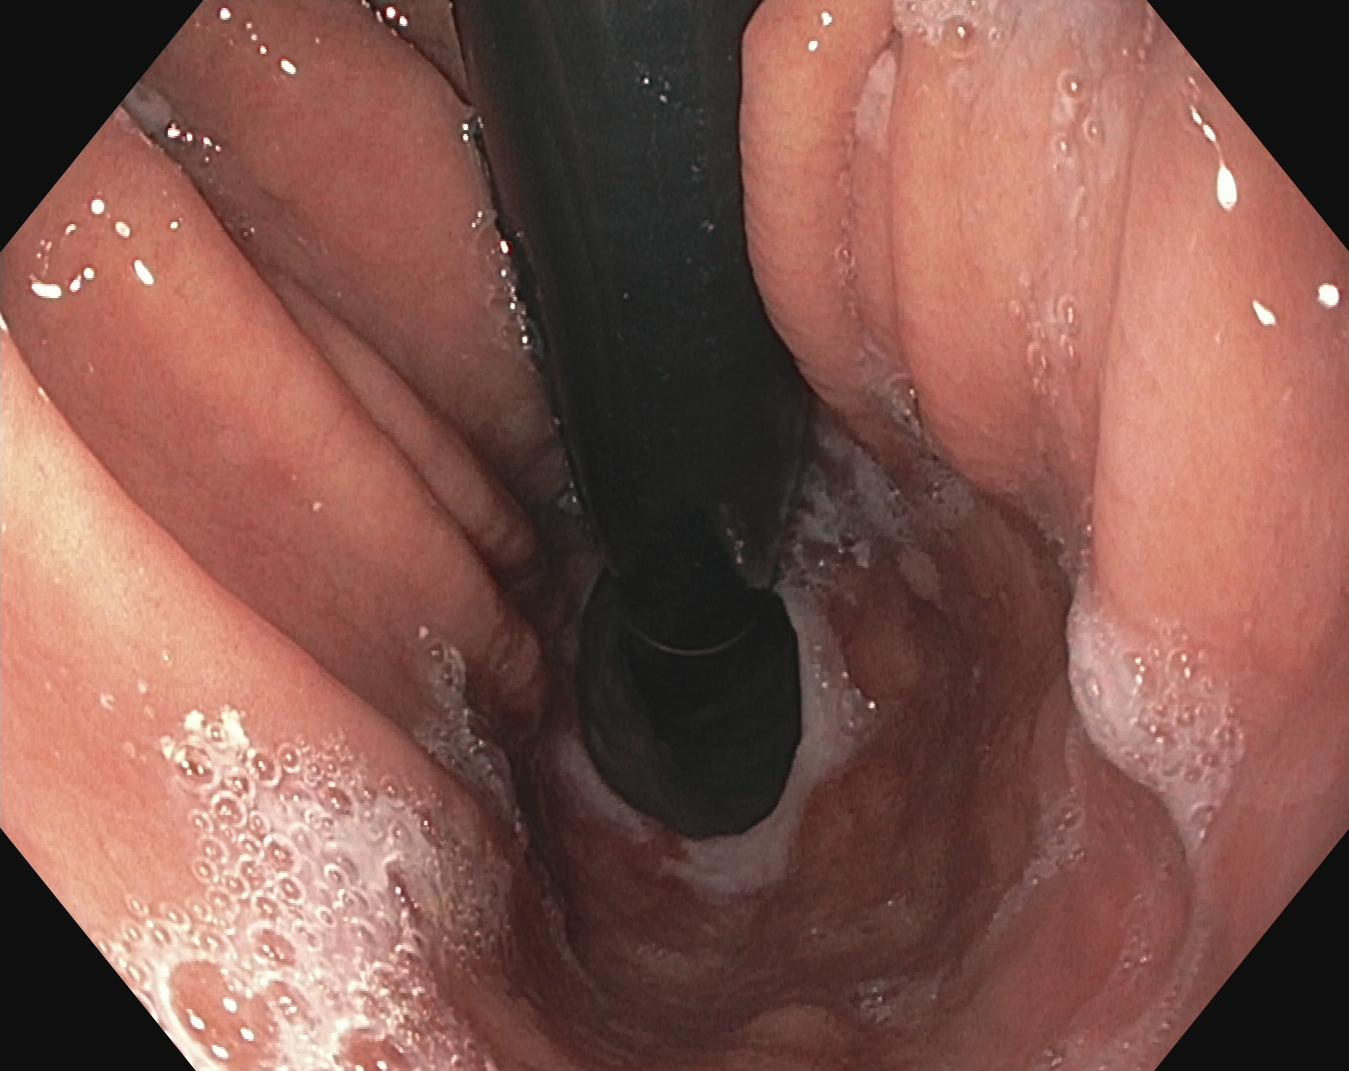EGD. Tract: upper GI tract. Finding: stomach in retroflexion.